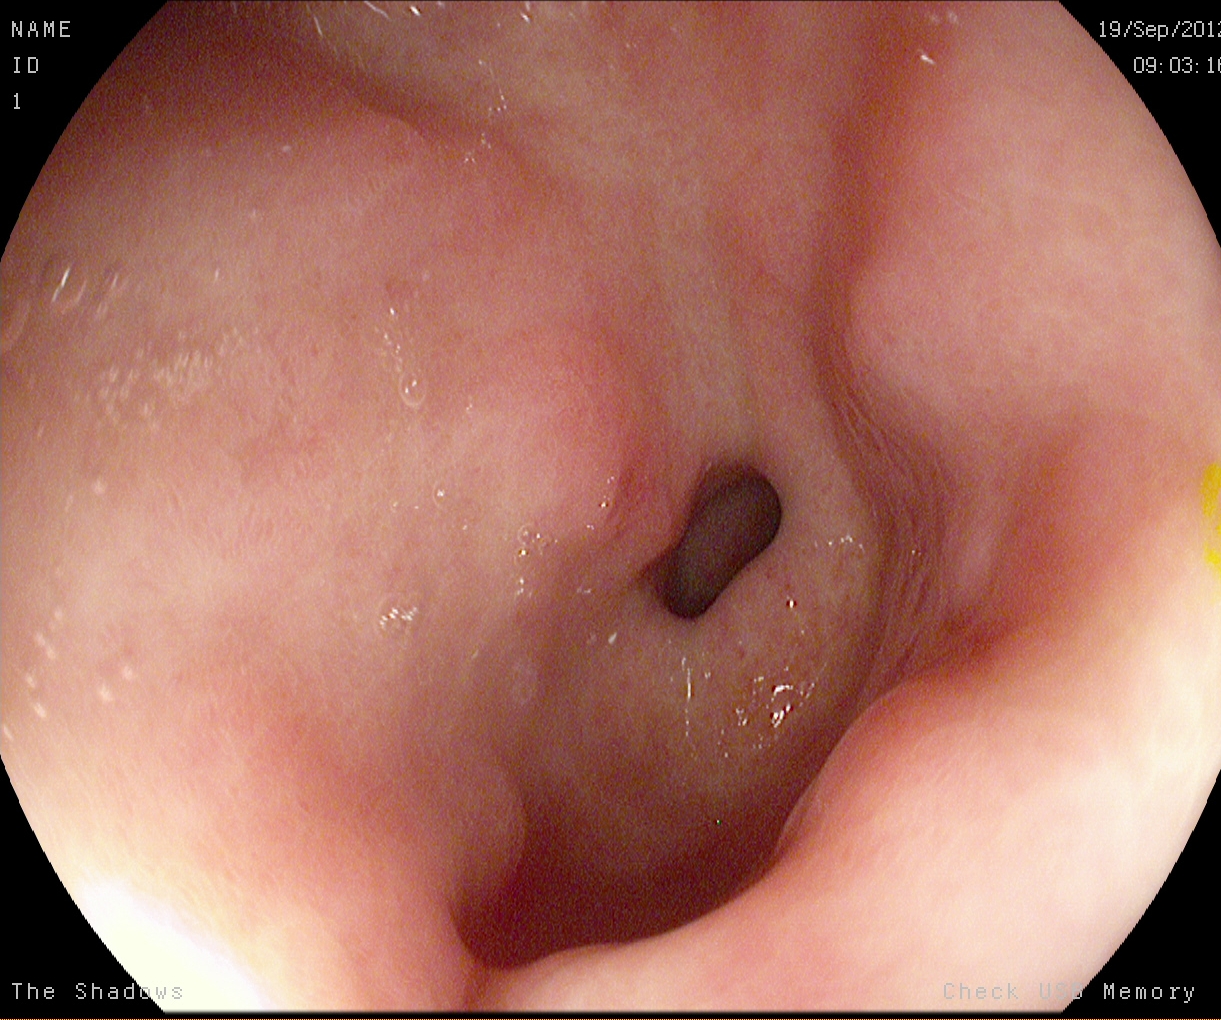This endoscopy frame shows pylorus.